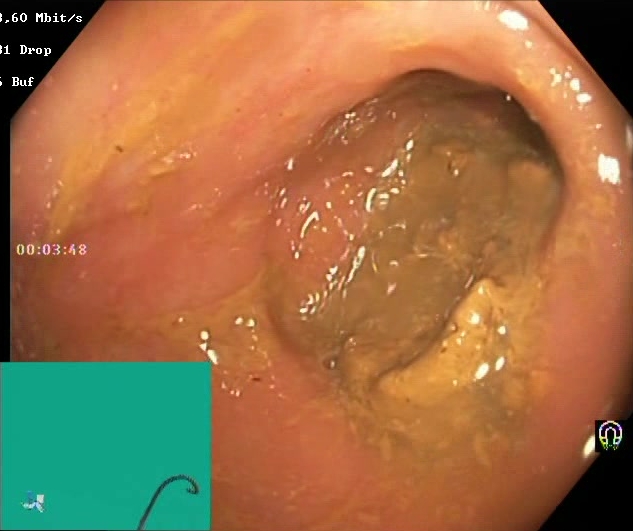modality: colonoscopy | tract: lower GI tract | finding: Boston Bowel Preparation Scale score 0–1 (inadequate preparation)